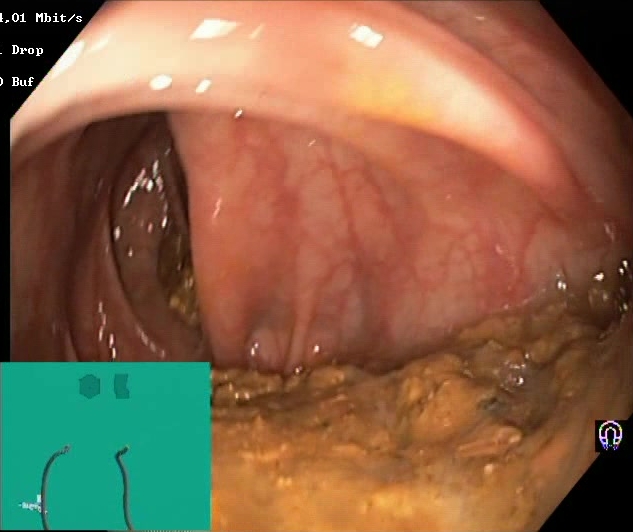modality: lower-GI endoscopy
category: mucosal-view quality
finding: Boston Bowel Preparation Scale score 0–1 (inadequate preparation)